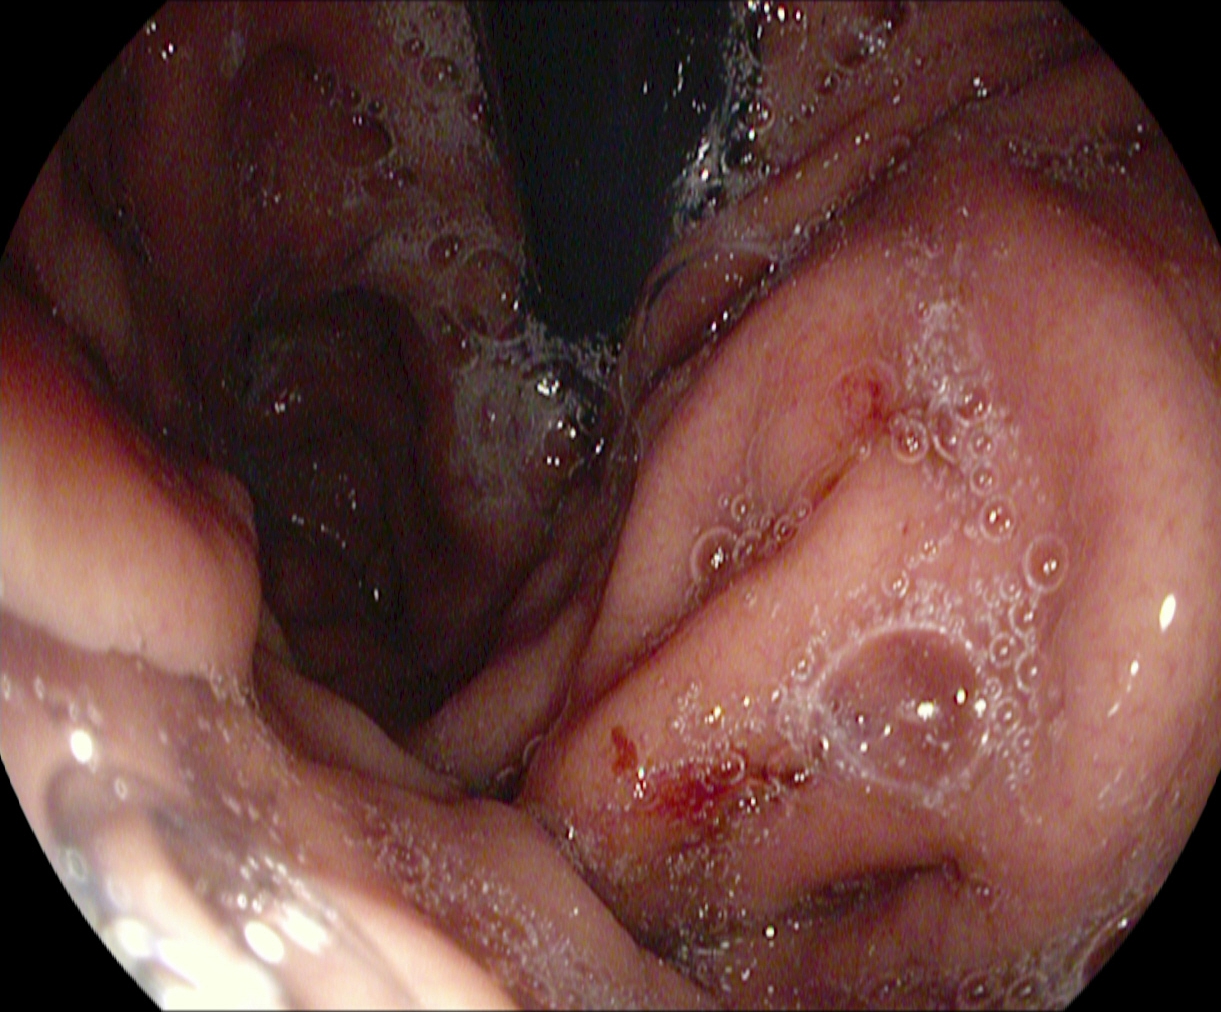PROCEDURE: EGD.
FINDINGS: Stomach in retroflexion.